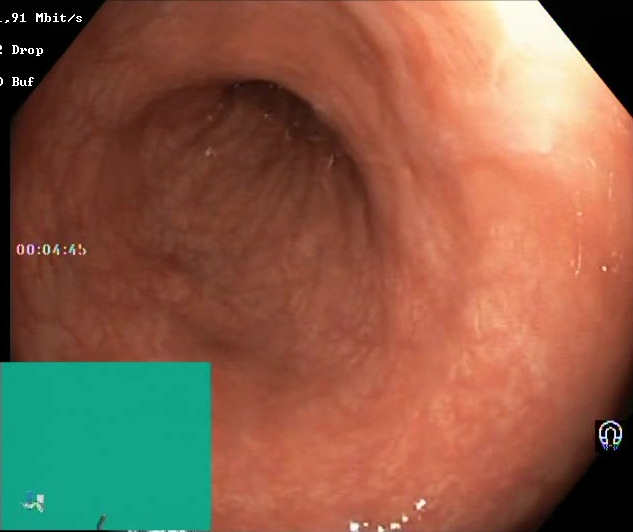Colonoscopy image of the lower GI tract showing Boston Bowel Preparation Scale score 2–3 (adequate preparation).